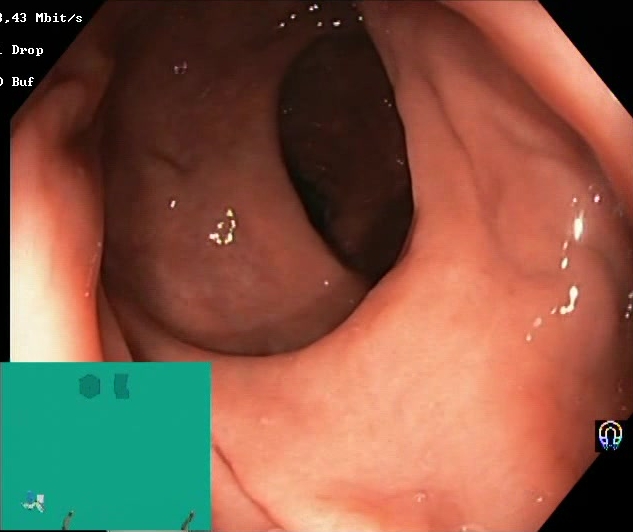{"modality": "lower-GI endoscopy", "finding": "BBPS score 2\u20133 (adequate preparation)"}